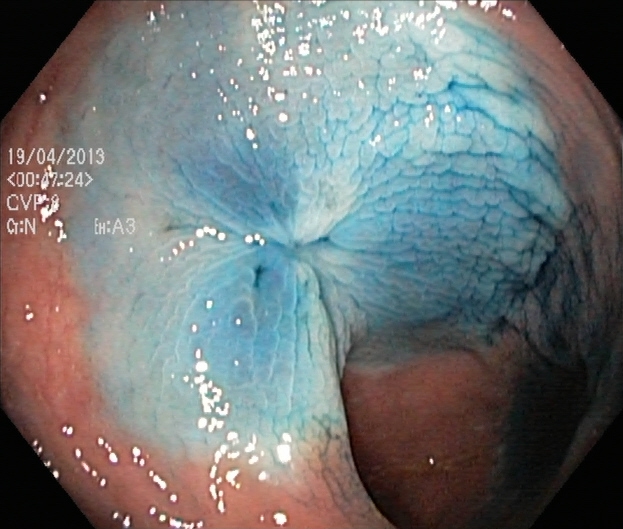This endoscopy frame shows dyed resection margins (post-polypectomy).